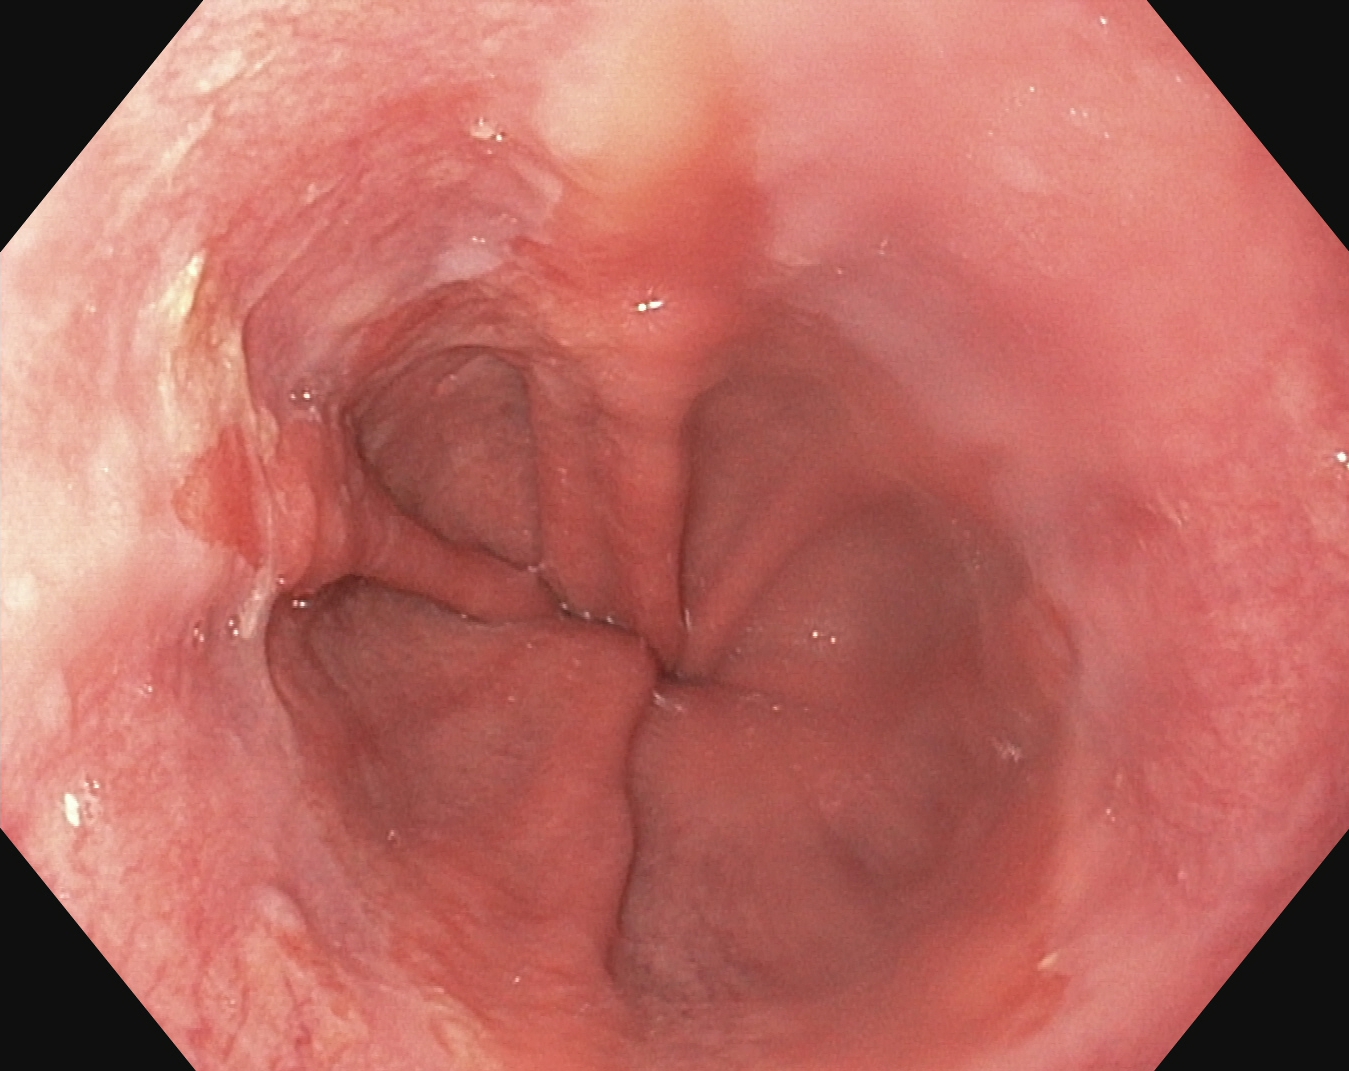Gastrointestinal endoscopy image of the upper GI tract showing reflux esophagitis, Los Angeles grade B–D.